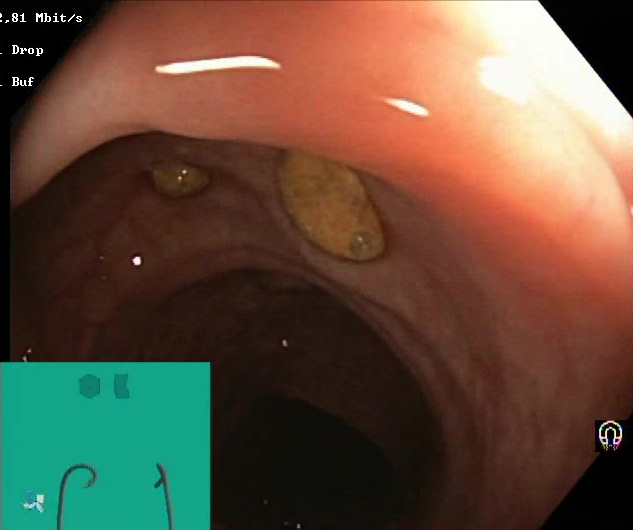Lower gastrointestinal endoscopy. Finding: impacted stool.